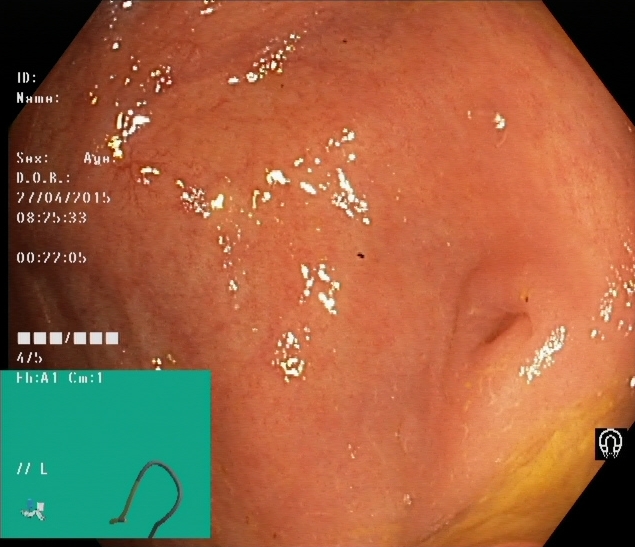Colonoscopy — cecum.